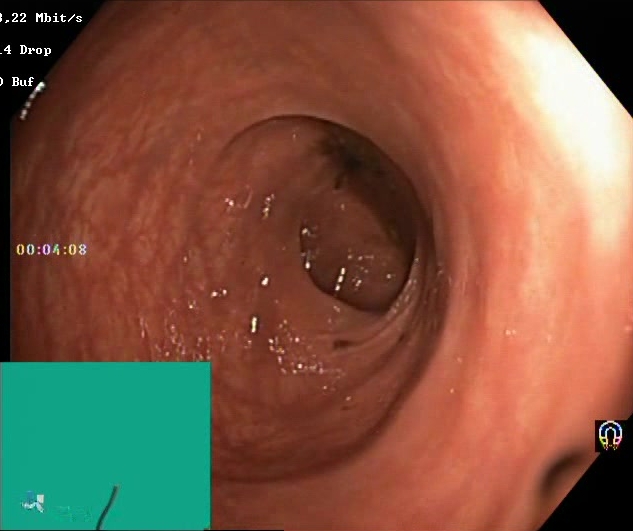Boston Bowel Preparation Scale score 2–3 (adequate preparation).